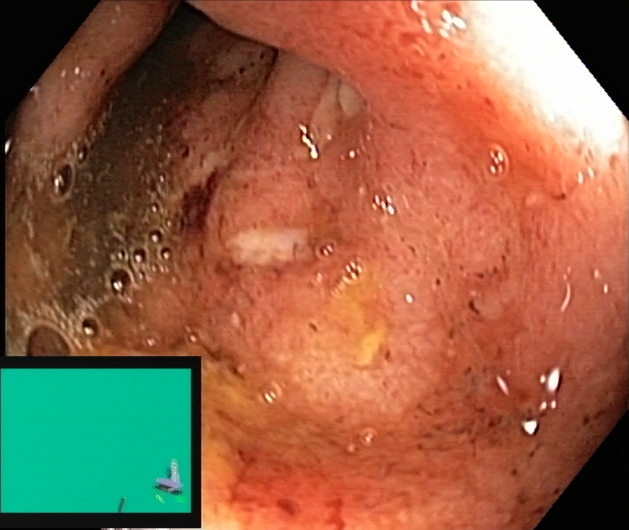PROCEDURE: Lower gastrointestinal endoscopy.
FINDINGS: Ulcerative colitis, Mayo endoscopic subscore 2.